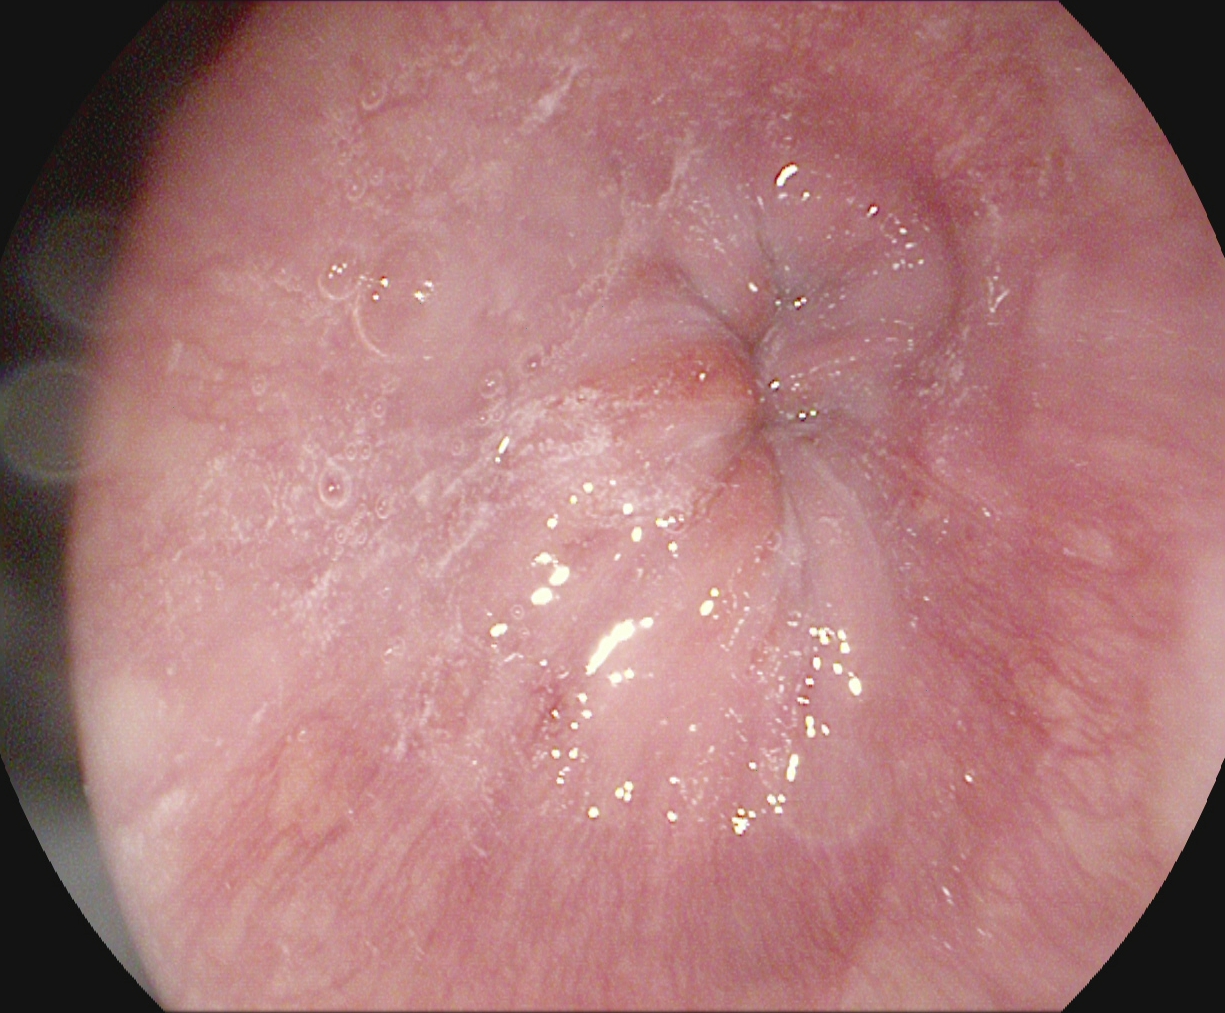PROCEDURE: Gastroscopy.
FINDINGS: Z-line (gastroesophageal junction).